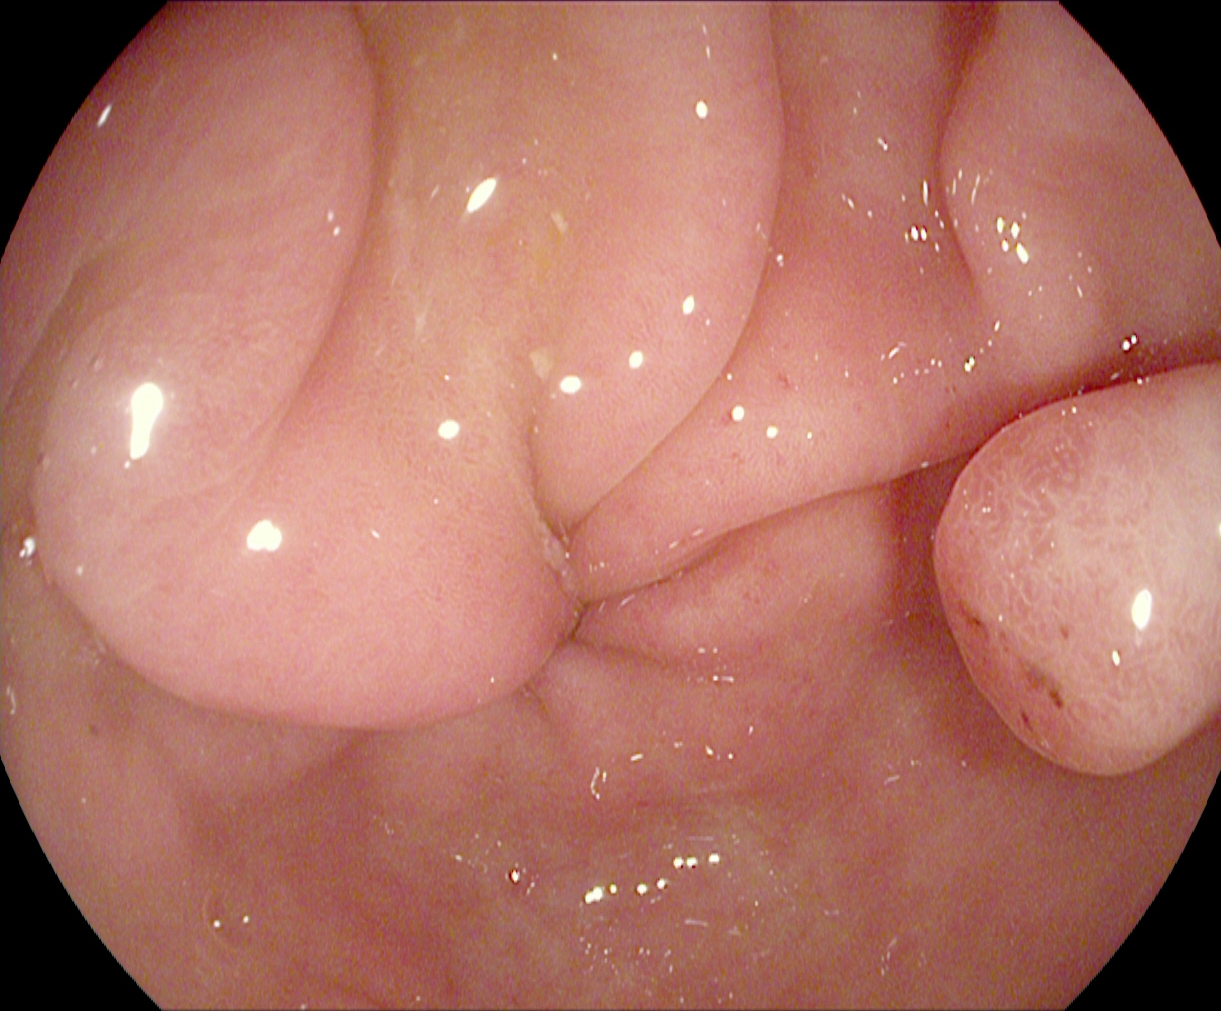Pylorus.